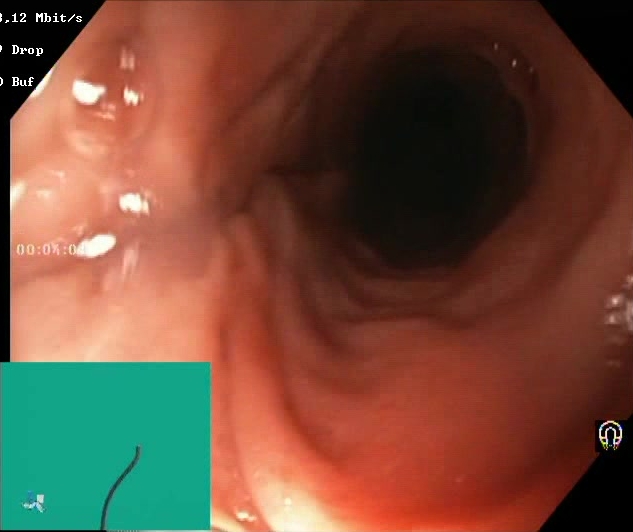BBPS score 2–3 (adequate preparation).